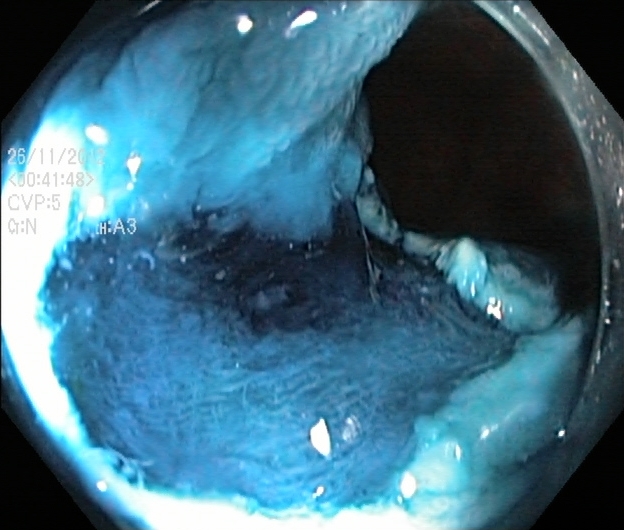{"modality": "lower gastrointestinal endoscopy", "tract": "lower GI tract", "category": "therapeutic intervention", "finding": "dyed resection margins (post-polypectomy)"}